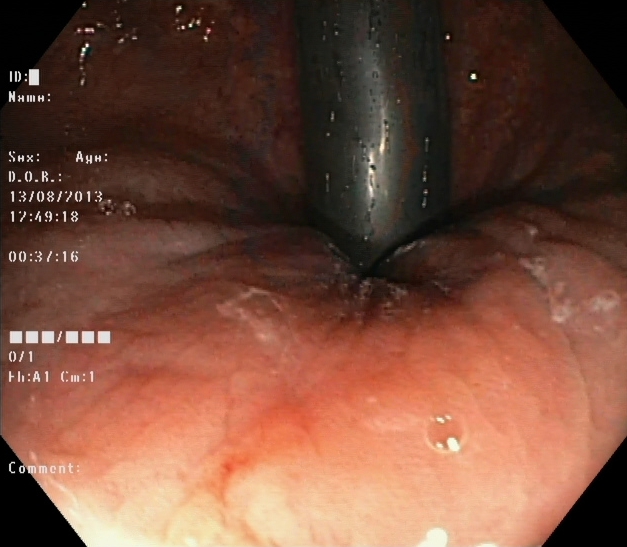Endoscopy image of the lower GI tract showing rectum in retroflexion.